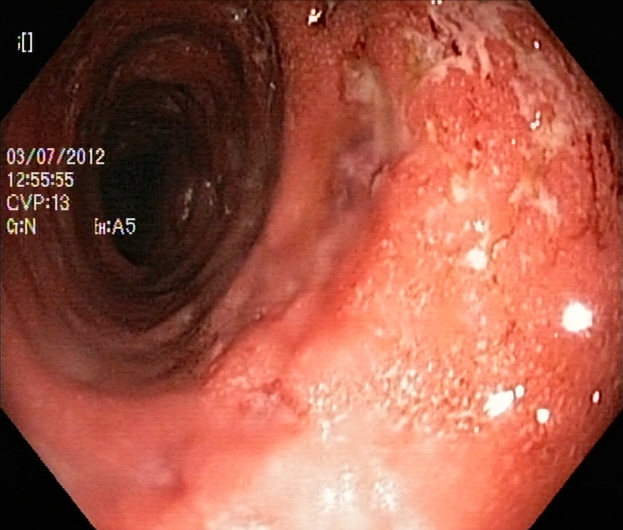GI endoscopy image of the lower GI tract showing ulcerative colitis, Mayo endoscopic subscore 3.